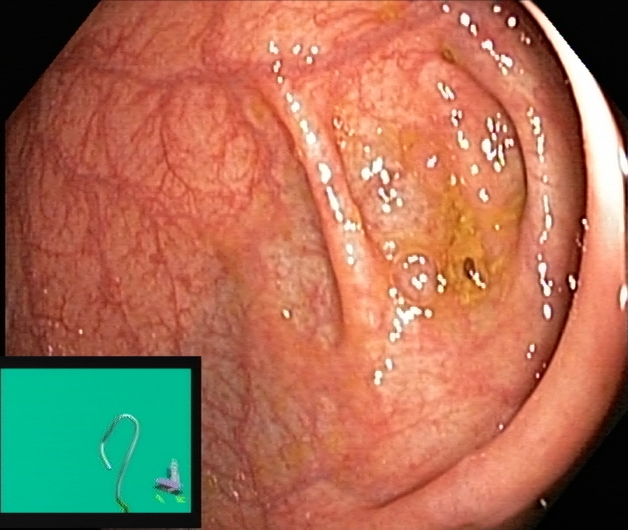{"modality": "lower gastrointestinal endoscopy", "tract": "lower GI tract", "finding": "cecum"}